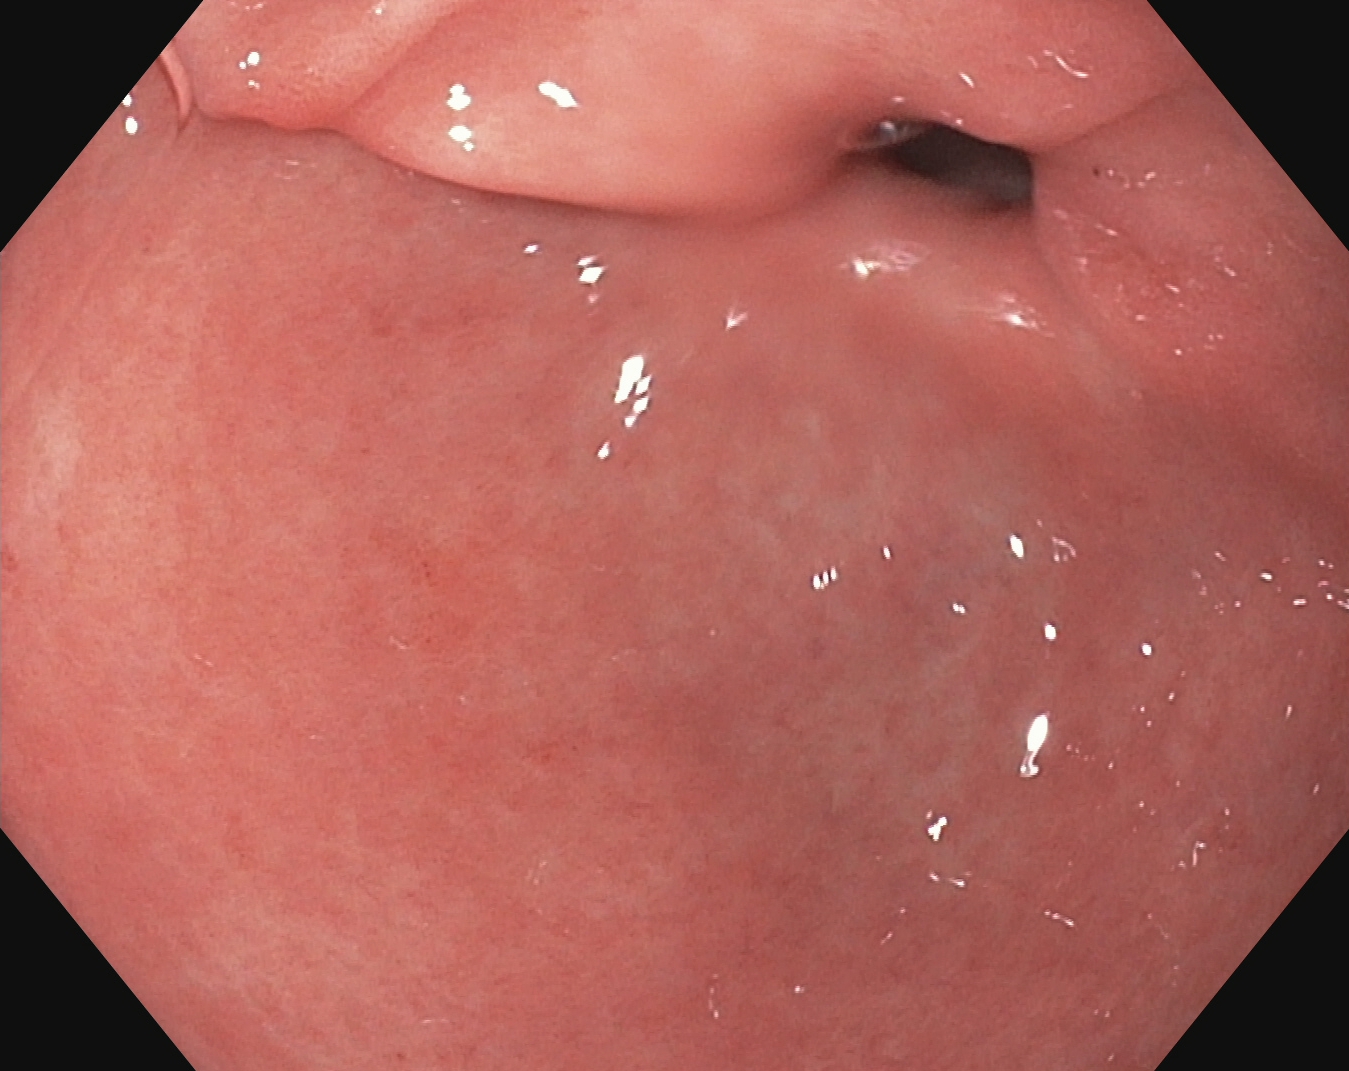modality: EGD; finding: pylorus